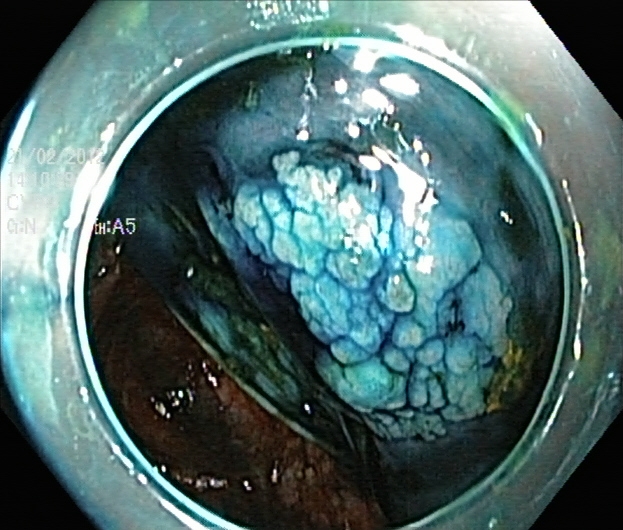Lower gastrointestinal endoscopy. Tract: lower GI tract. Finding: dyed and lifted polyp (pre-resection).